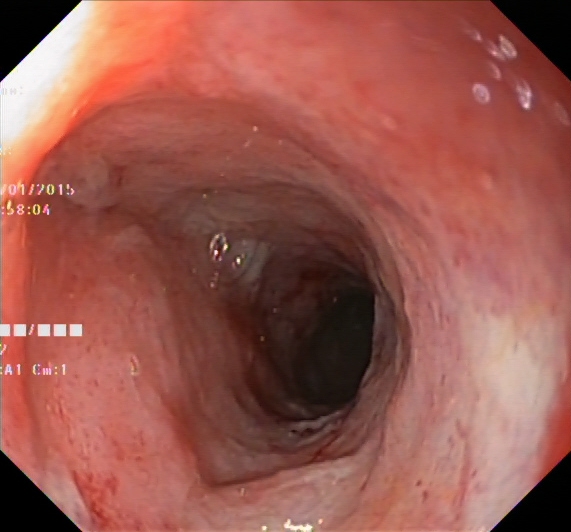This endoscopy frame of the lower GI tract shows ulcerative colitis, Mayo endoscopic subscore 2.